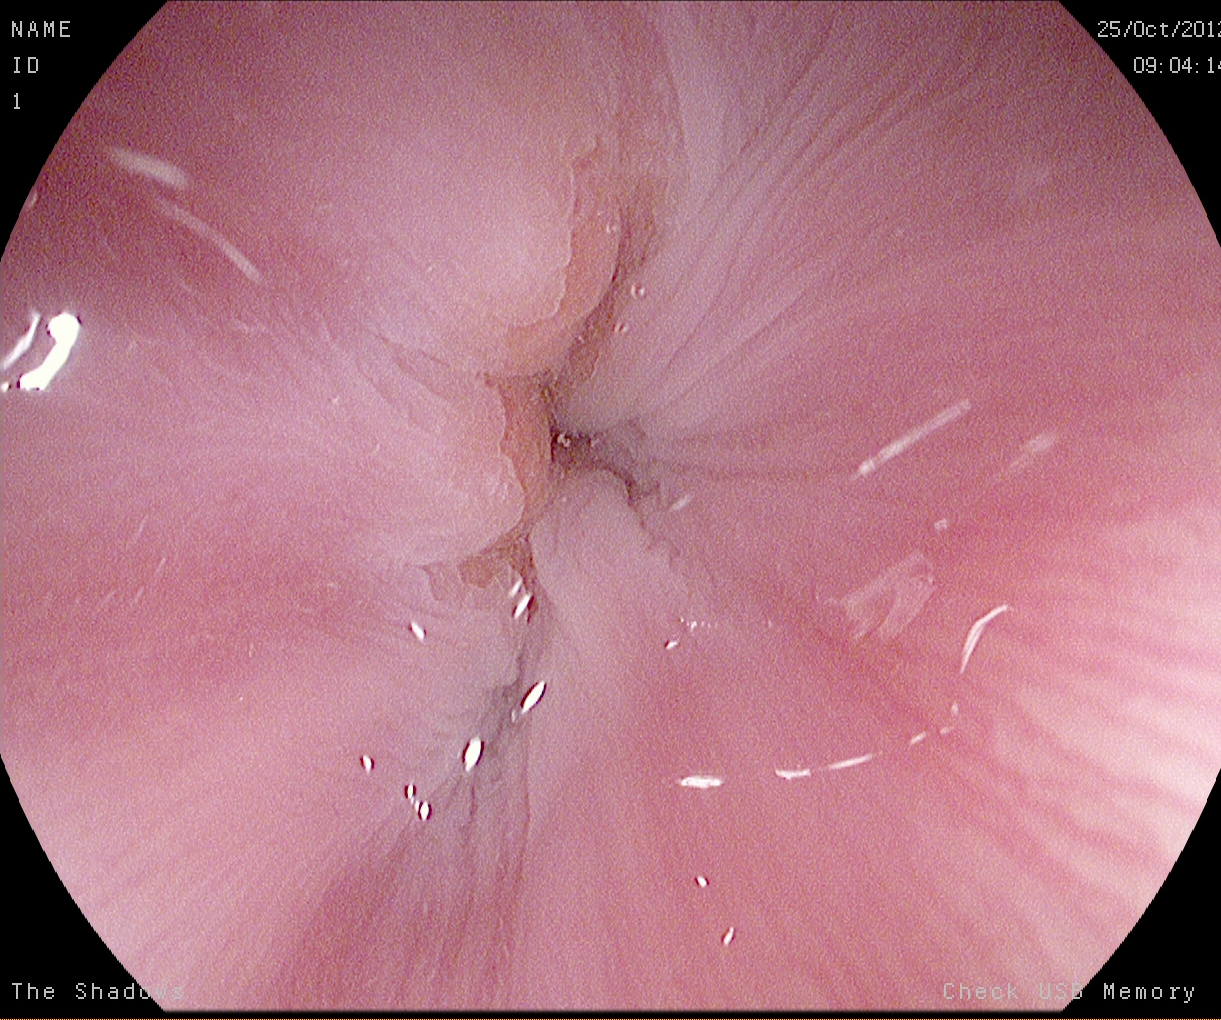PROCEDURE: Esophagogastroduodenoscopy.
FINDINGS: Z-line (gastroesophageal junction).